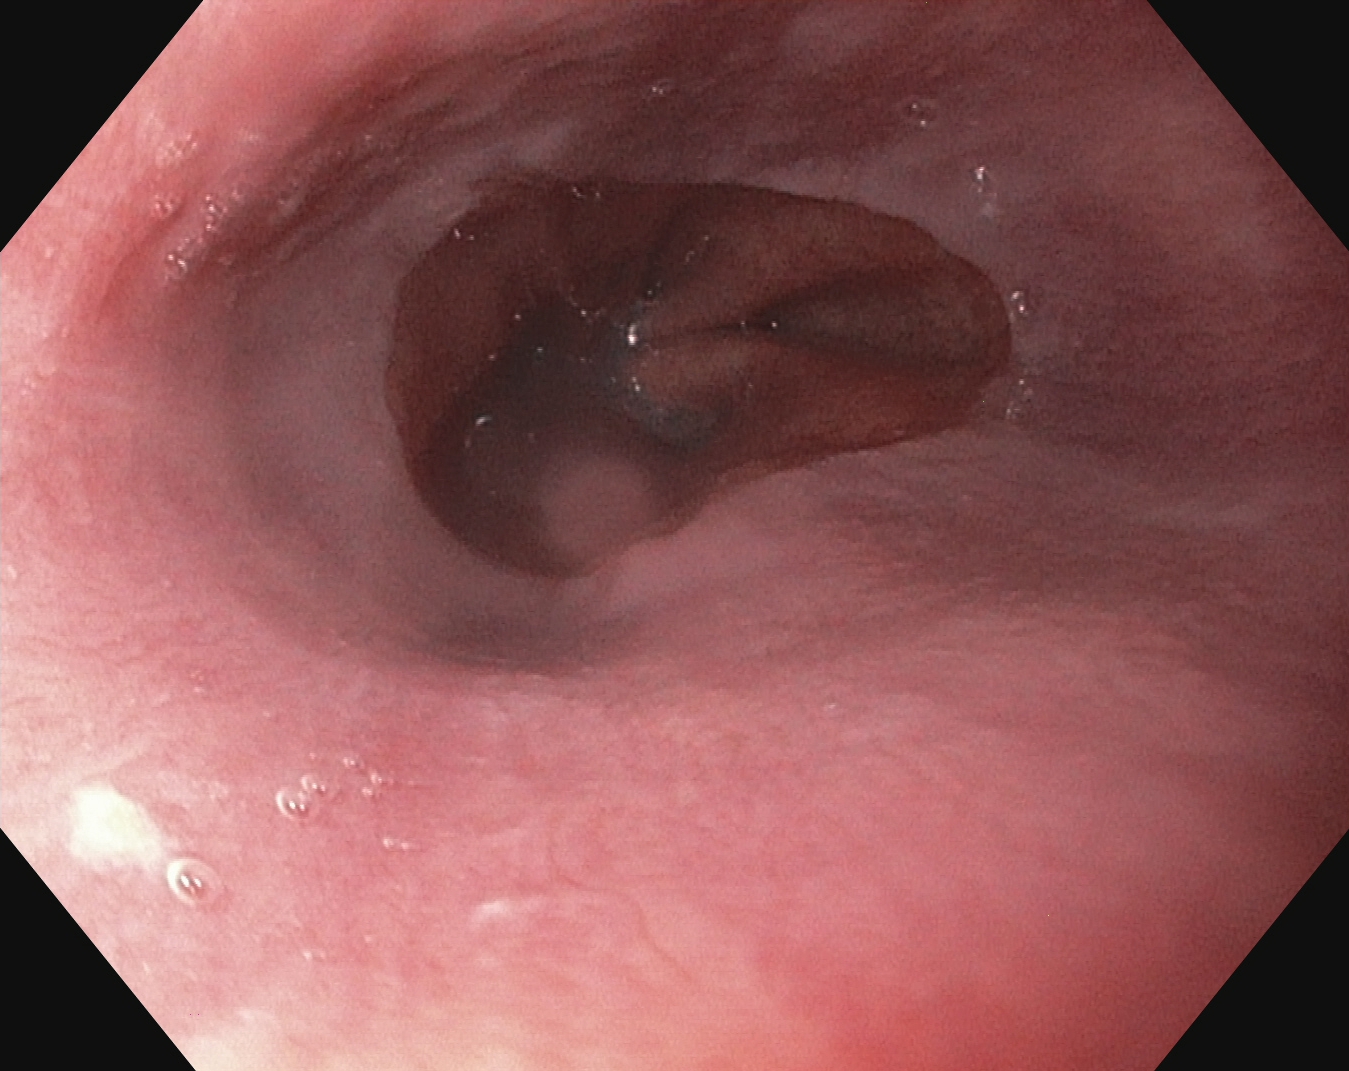Endoscopic frame of the upper GI tract showing Z-line (gastroesophageal junction).